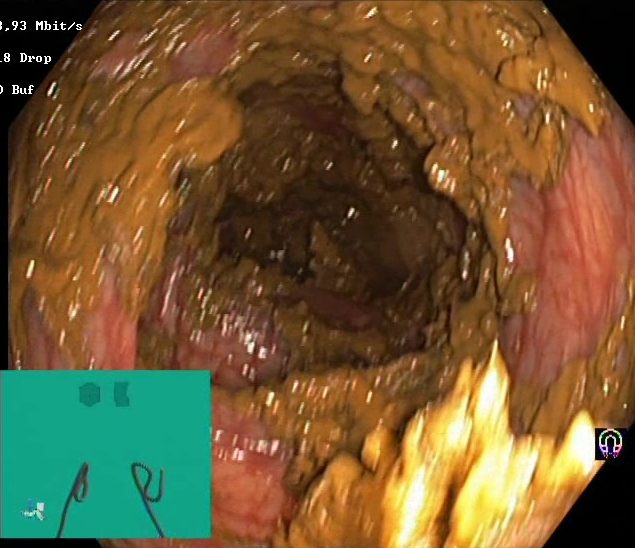This endoscopy frame of the lower GI tract shows Boston Bowel Preparation Scale score 0–1 (inadequate preparation).